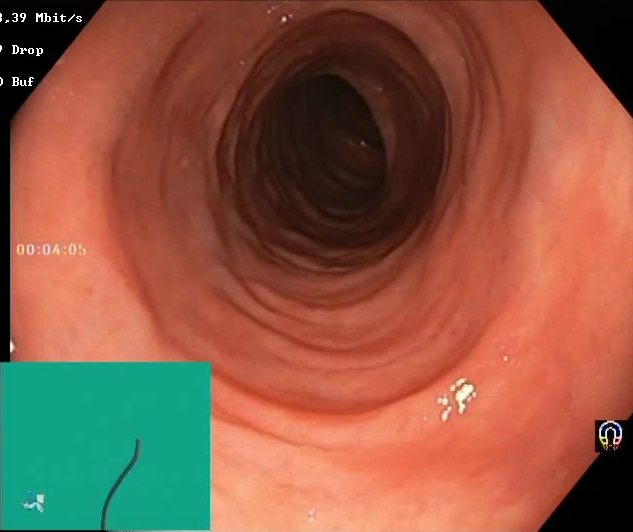PROCEDURE: Colonoscopy.
FINDINGS: BBPS score 2–3 (adequate preparation).